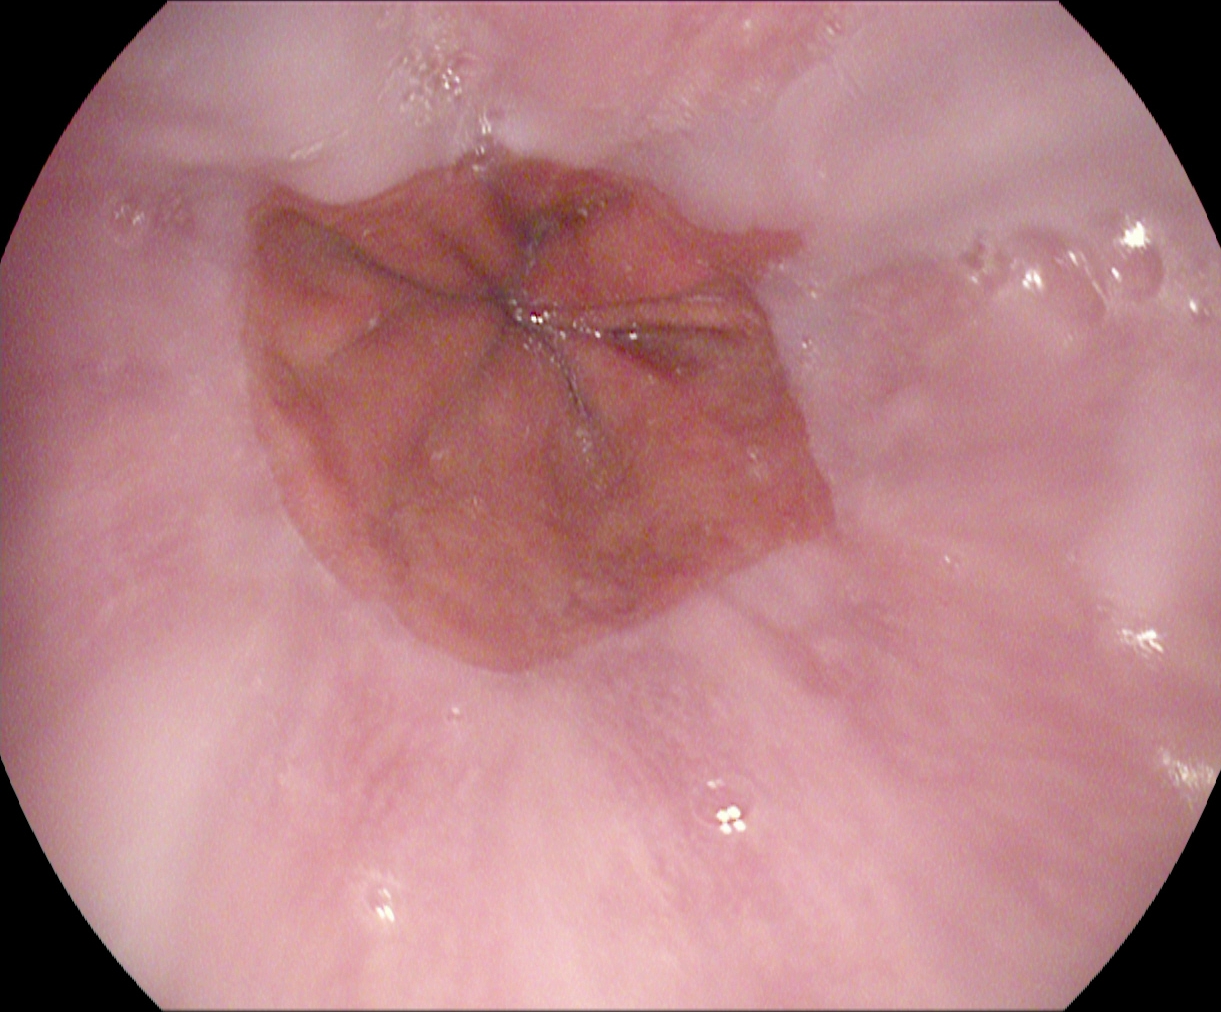GI endoscopy image showing reflux esophagitis, Los Angeles grade A.